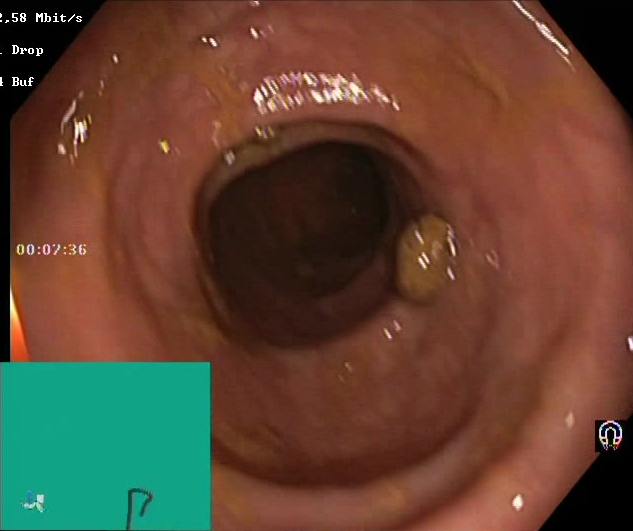PROCEDURE: Lower gastrointestinal endoscopy.
FINDINGS: Boston Bowel Preparation Scale score 2–3 (adequate preparation).